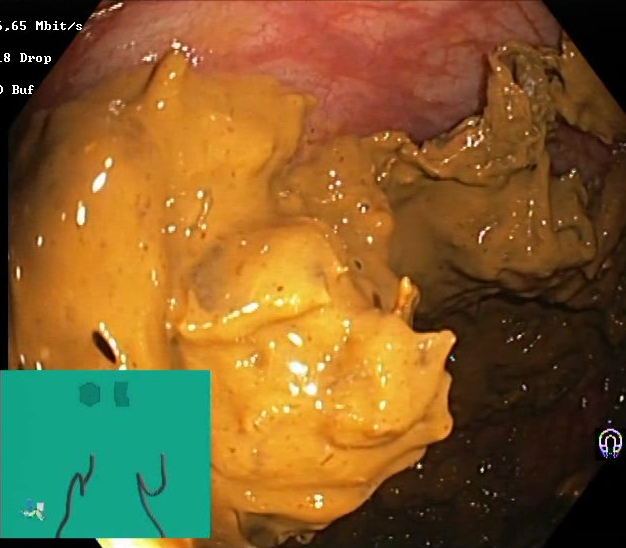This endoscopic image of the lower GI tract shows BBPS score 0–1 (inadequate preparation).